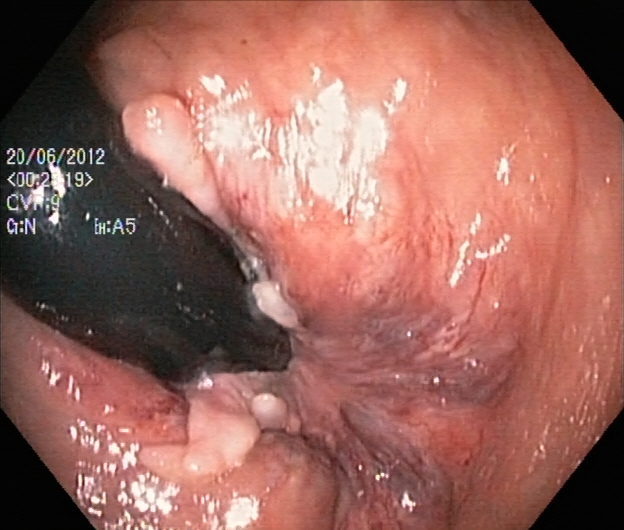Gastrointestinal endoscopy image of the lower GI tract showing rectum in retroflexion.